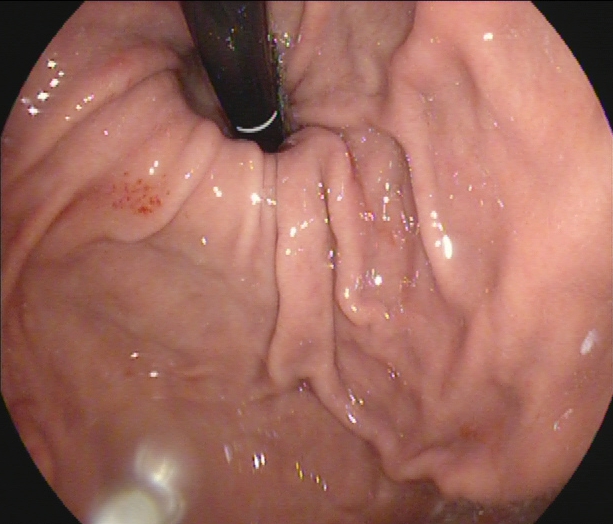{"modality": "gastroscopy", "tract": "upper GI tract", "finding": "stomach in retroflexion"}